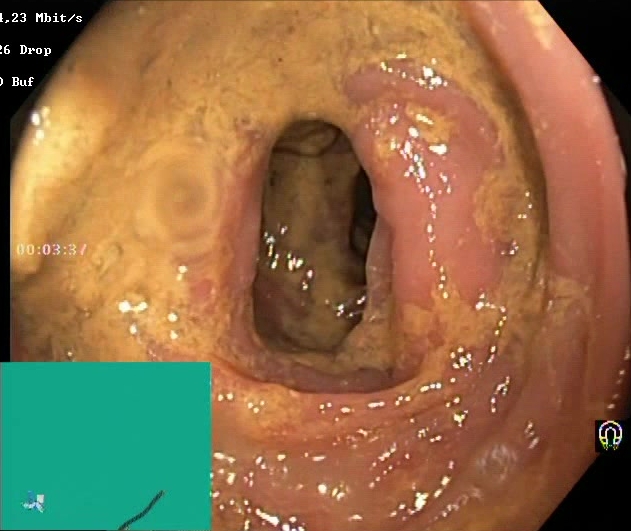Boston Bowel Preparation Scale score 0–1 (inadequate preparation).